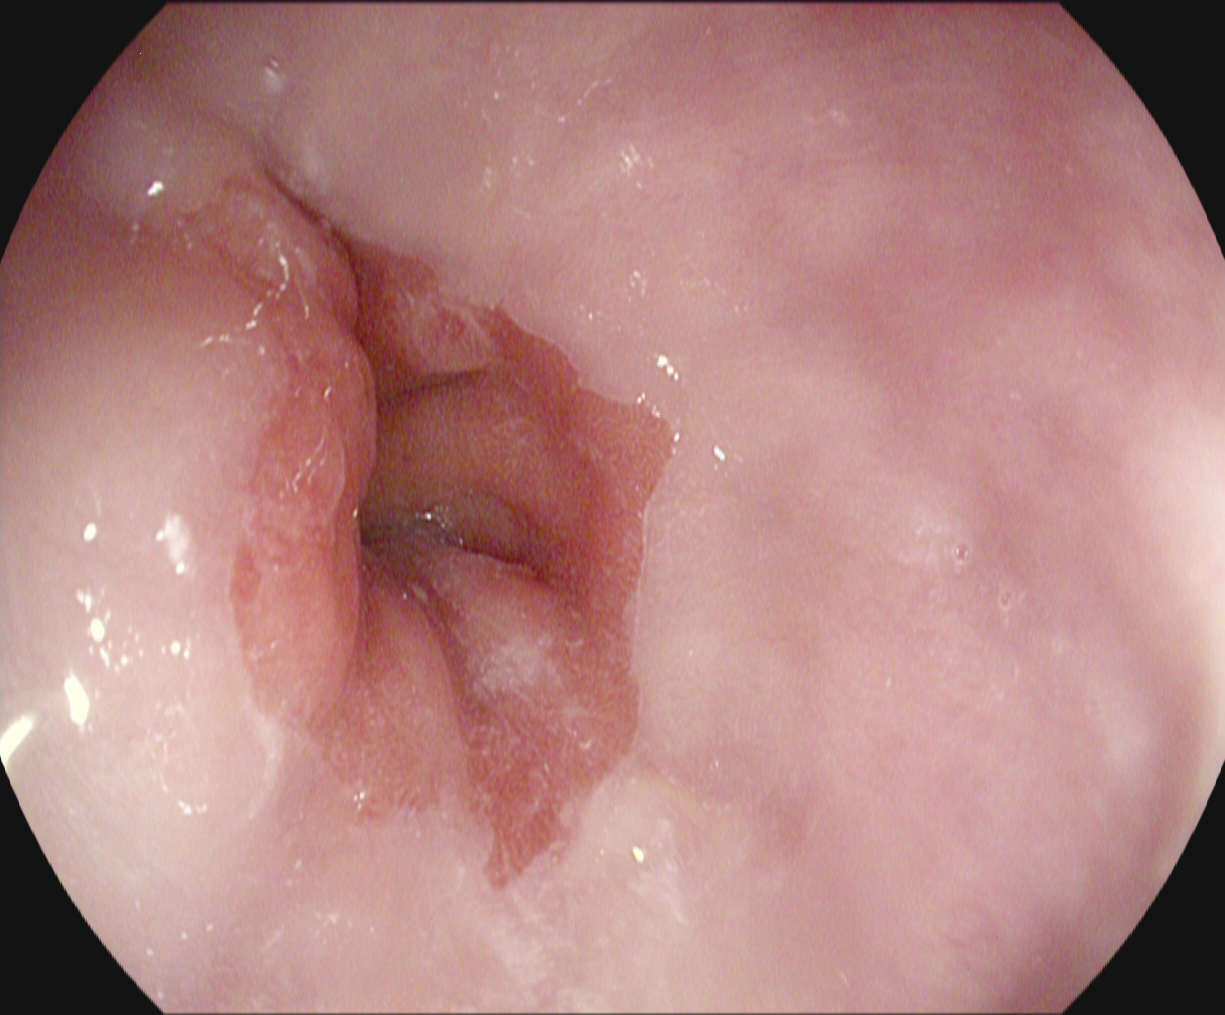This endoscopy frame shows Z-line (gastroesophageal junction).